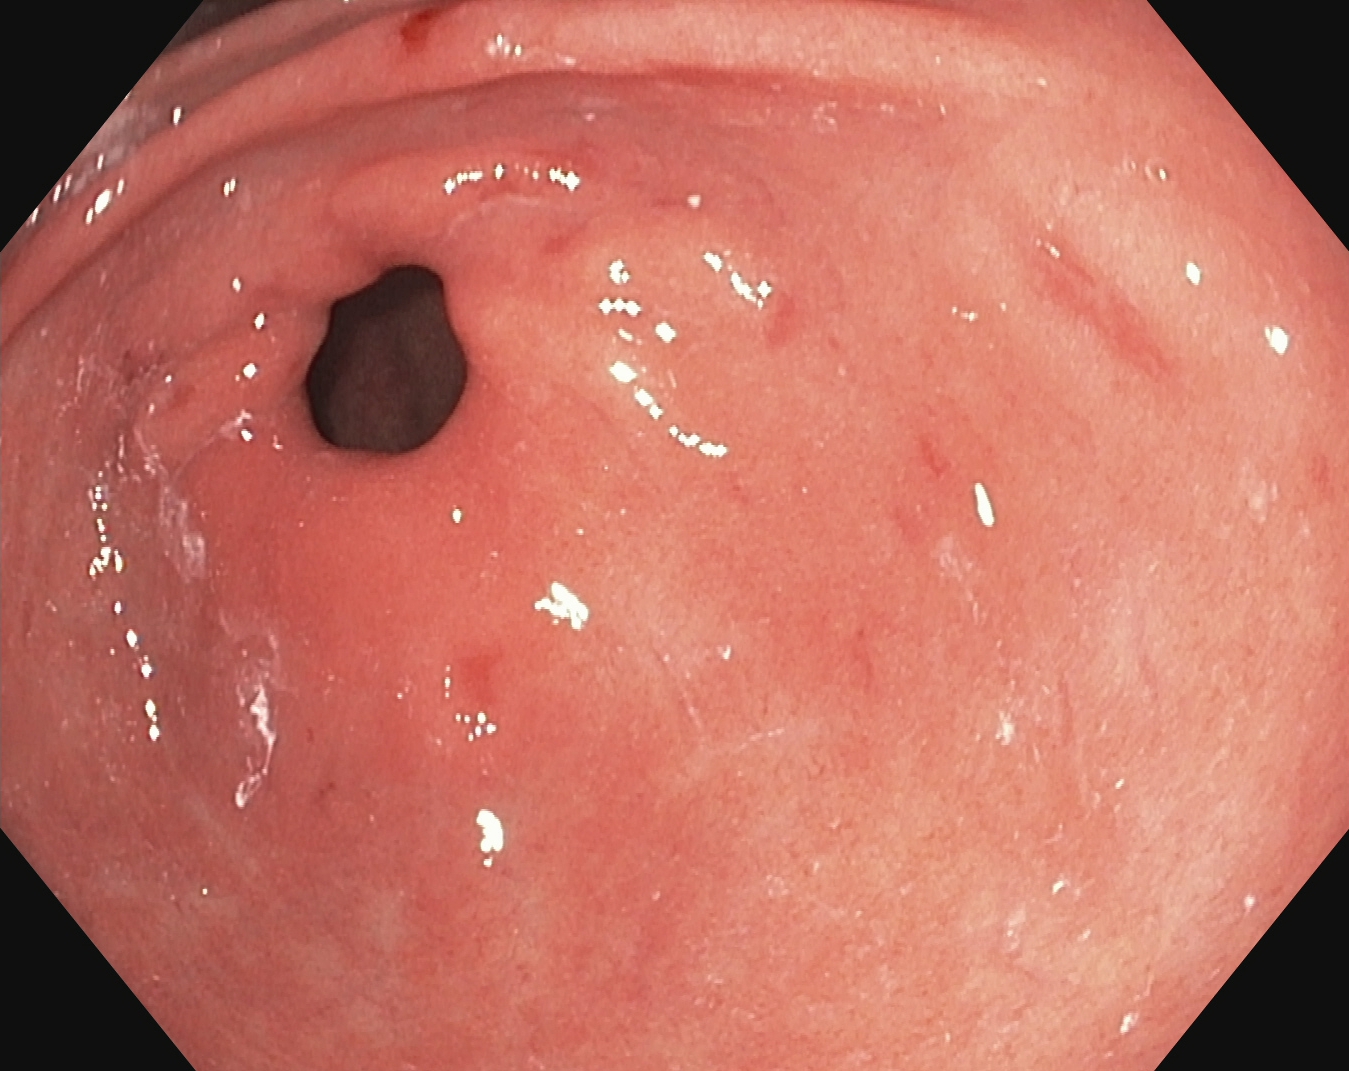PROCEDURE: Upper-GI endoscopy.
FINDINGS: Pylorus.